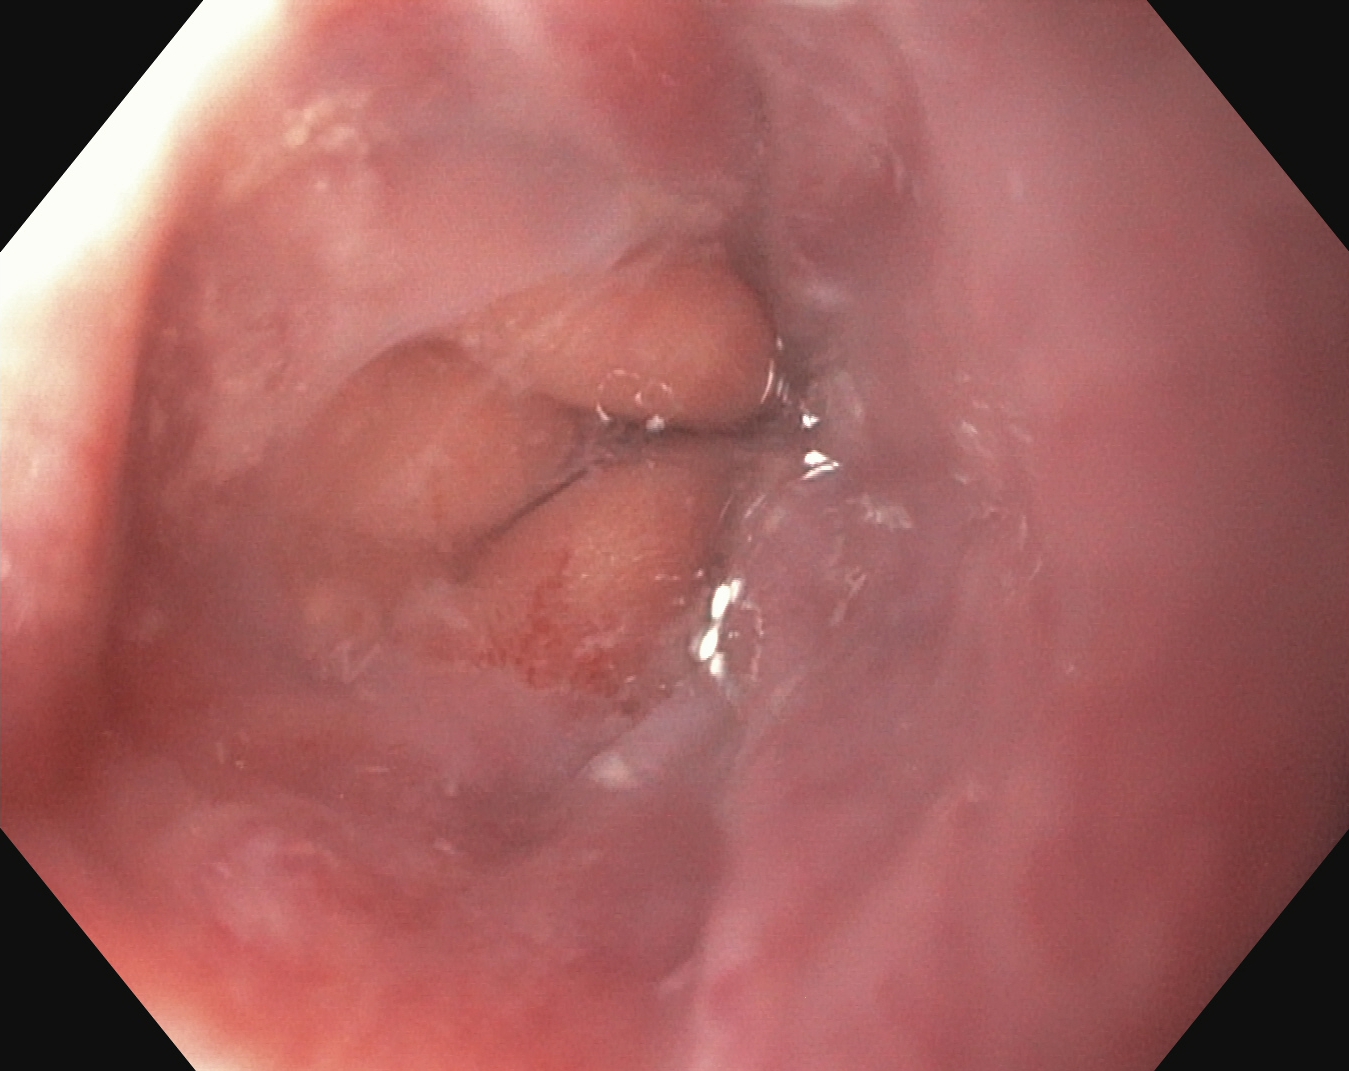Z-line (gastroesophageal junction).